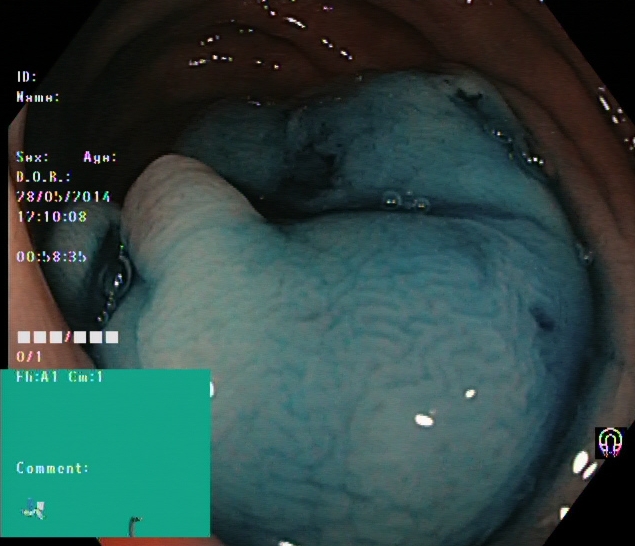This endoscopic image shows dyed and lifted polyp (pre-resection).